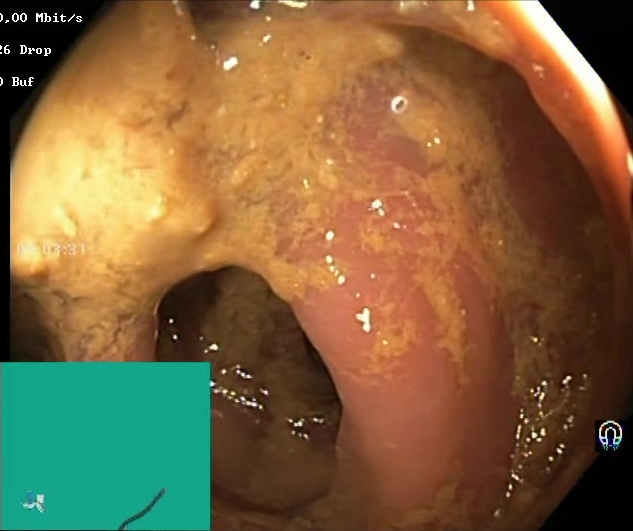Lower-GI endoscopy. Tract: lower GI tract. Finding: Boston Bowel Preparation Scale score 0–1 (inadequate preparation).